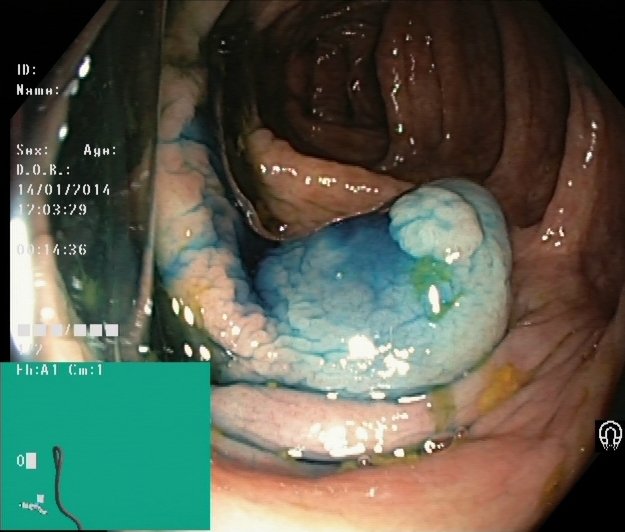dyed and lifted polyp (pre-resection).